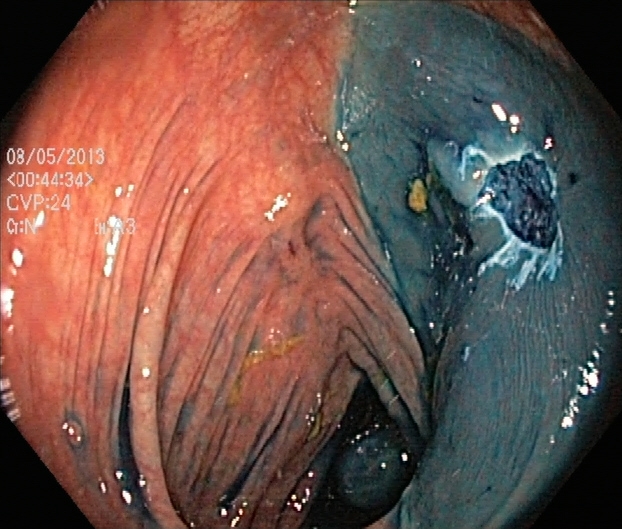Endoscopy image of the lower GI tract showing dyed resection margins (post-polypectomy).